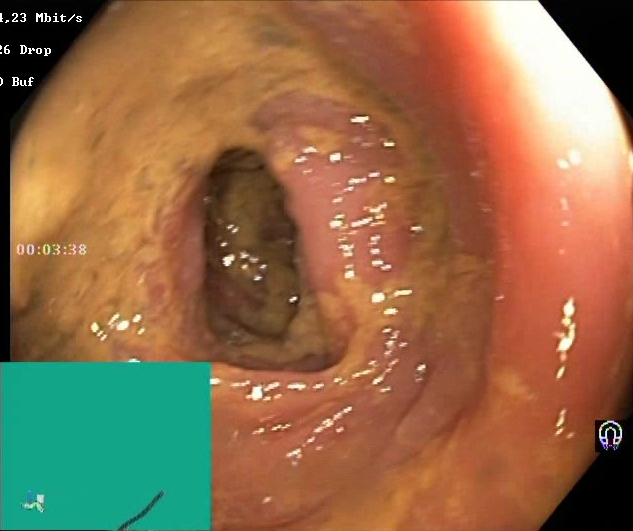Endoscopic image of the lower GI tract showing Boston Bowel Preparation Scale score 0–1 (inadequate preparation).